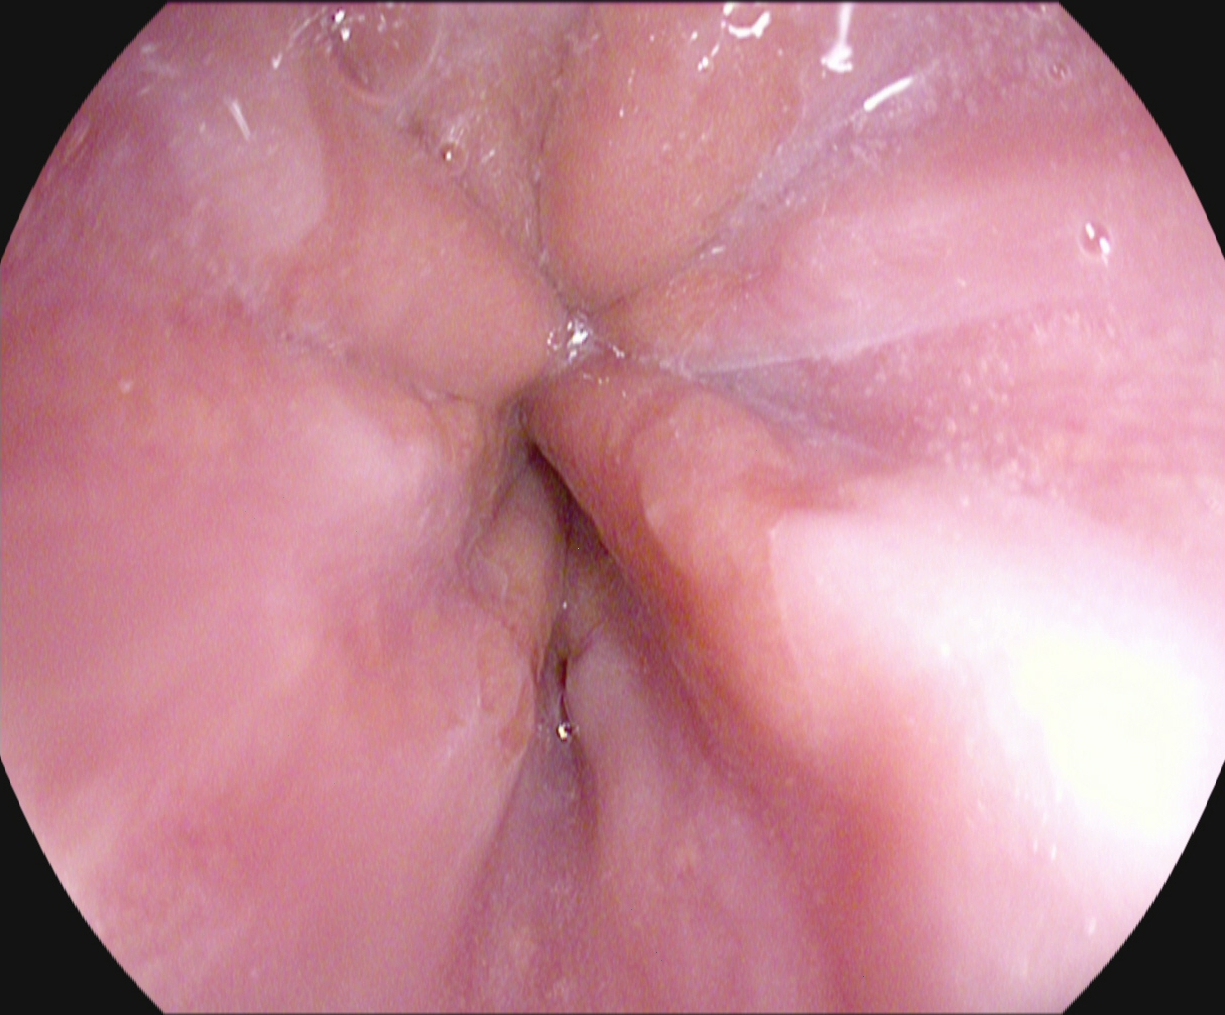Upper-GI endoscopy — Z-line (gastroesophageal junction).